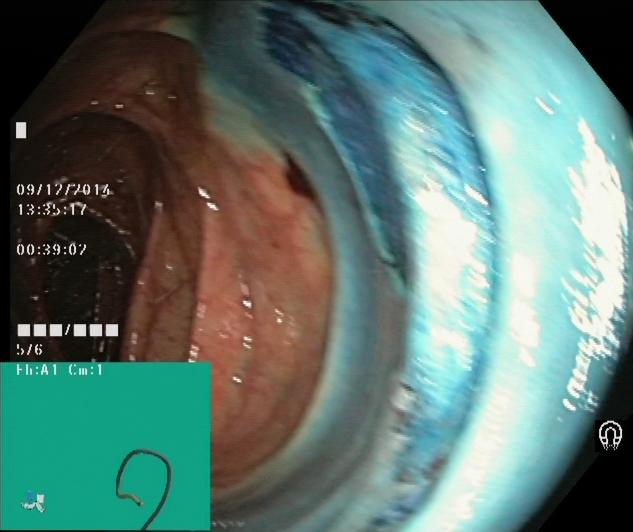Endoscopic frame showing dyed resection margins (post-polypectomy).